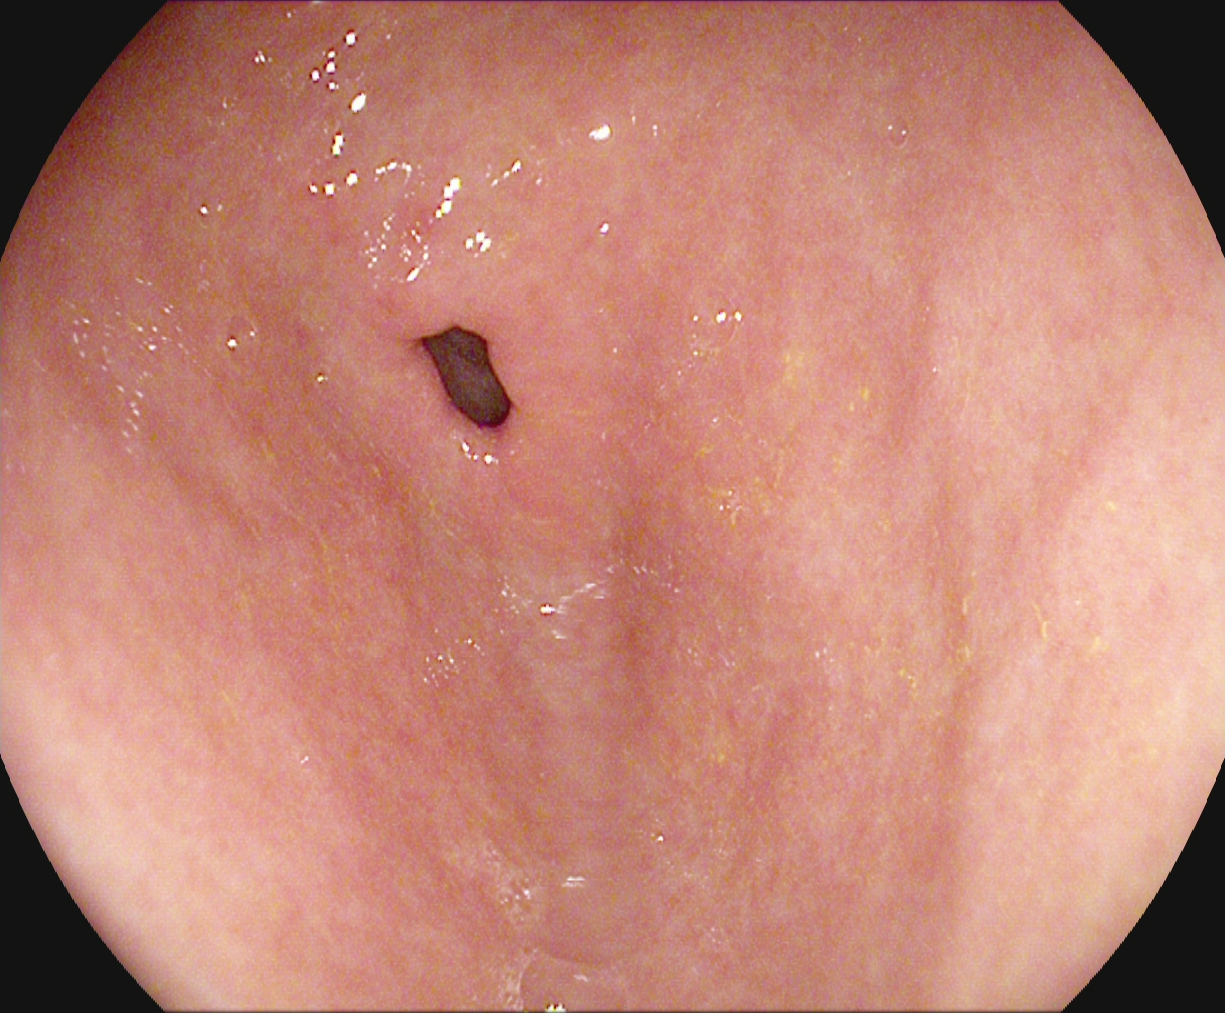{"modality": "upper-GI endoscopy", "category": "anatomical landmark", "finding": "pylorus"}